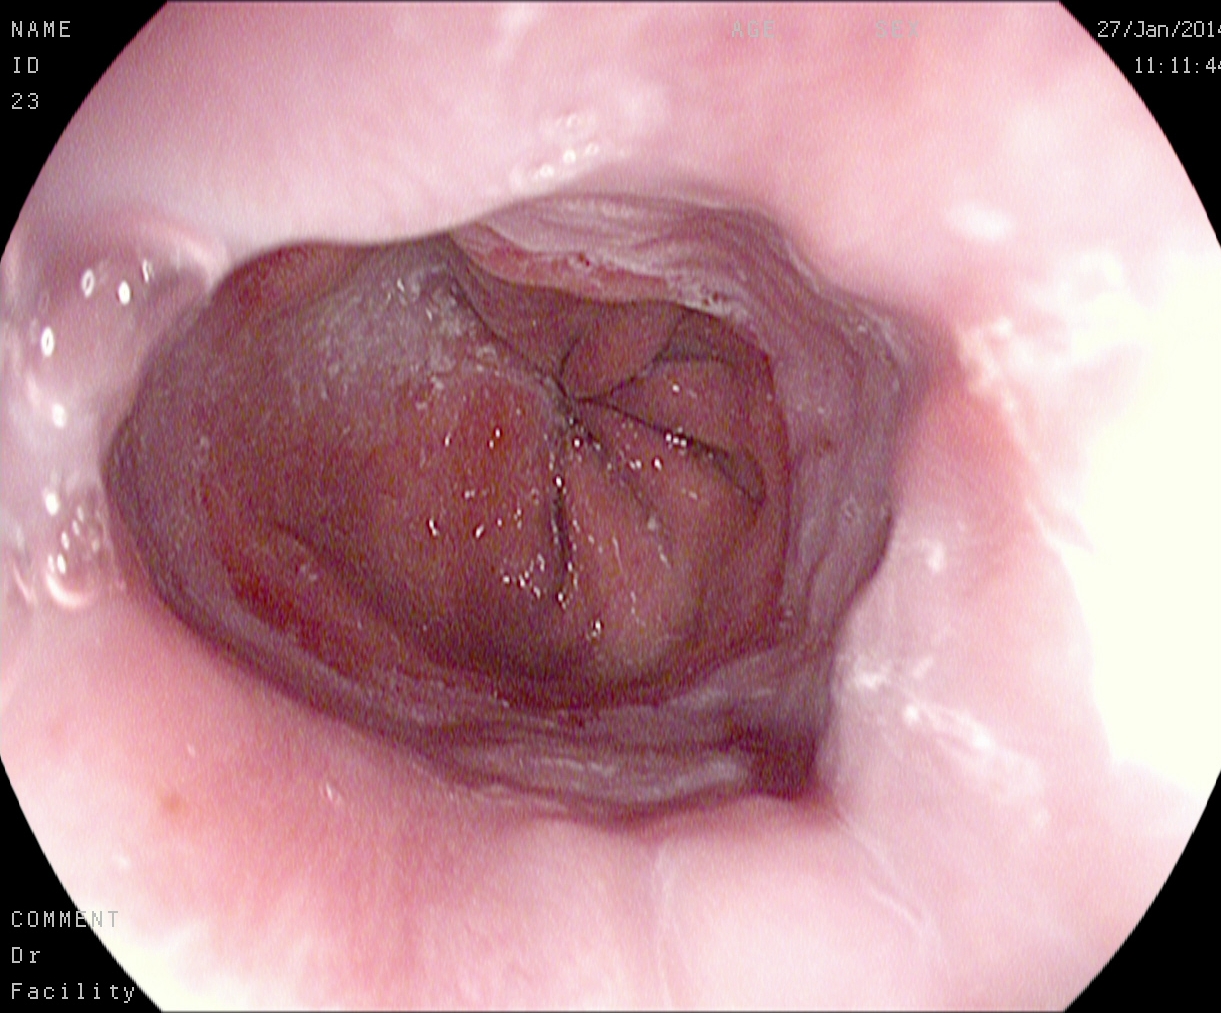reflux esophagitis, LA grade A.